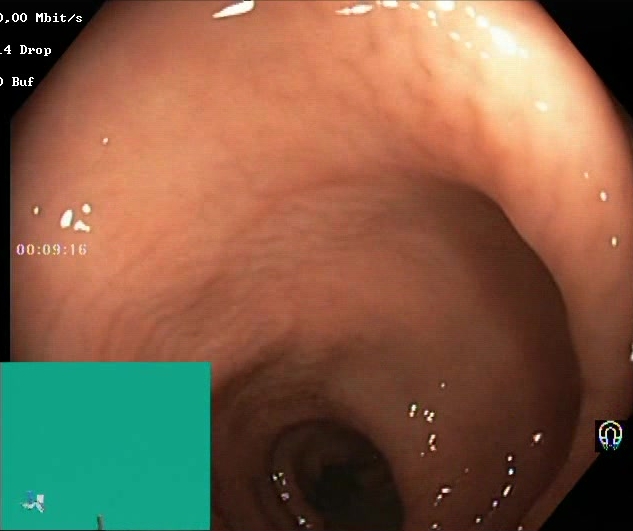PROCEDURE: Colonoscopy.
FINDINGS: Boston Bowel Preparation Scale score 2–3 (adequate preparation).